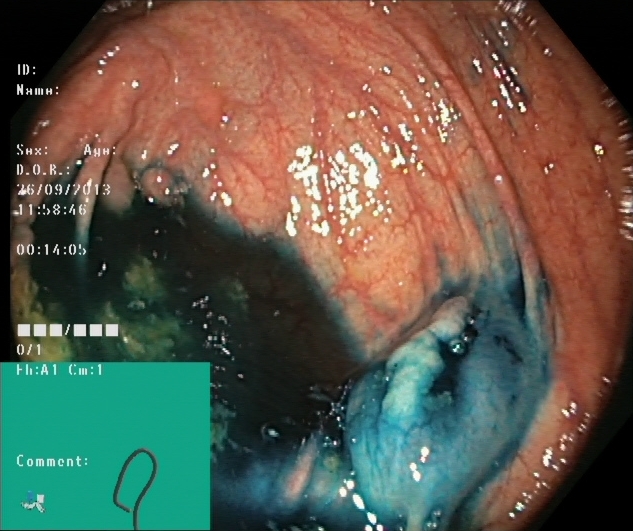PROCEDURE: Lower gastrointestinal endoscopy.
CATEGORY: Therapeutic intervention.
FINDINGS: Dyed and lifted polyp (pre-resection).